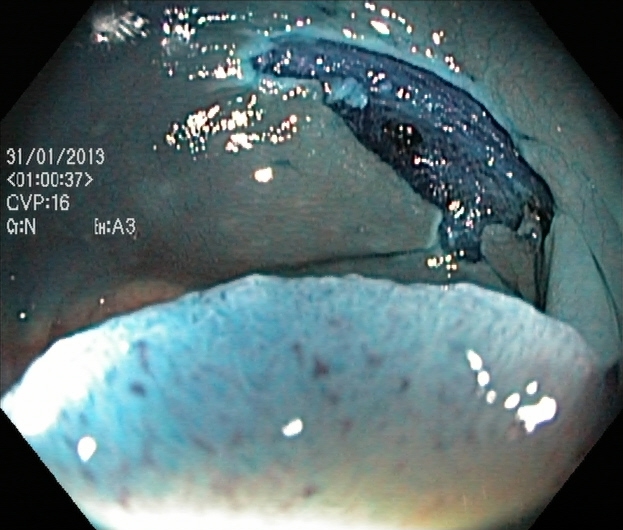{"modality": "lower gastrointestinal endoscopy", "tract": "lower GI tract", "finding": "dyed resection margins (post-polypectomy)"}